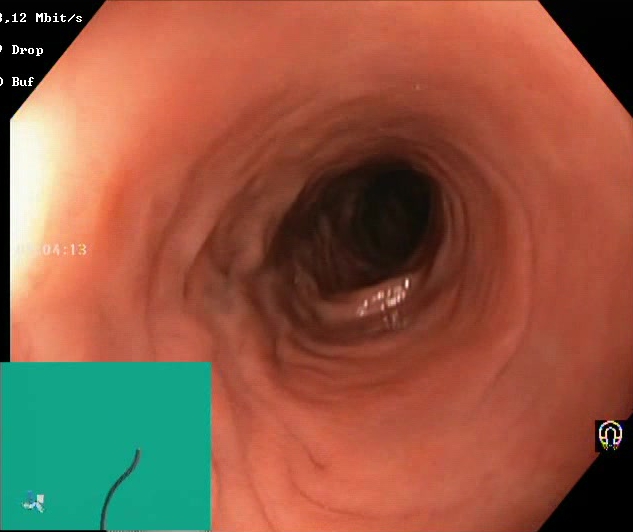GI endoscopy image of the lower GI tract showing BBPS score 2–3 (adequate preparation).